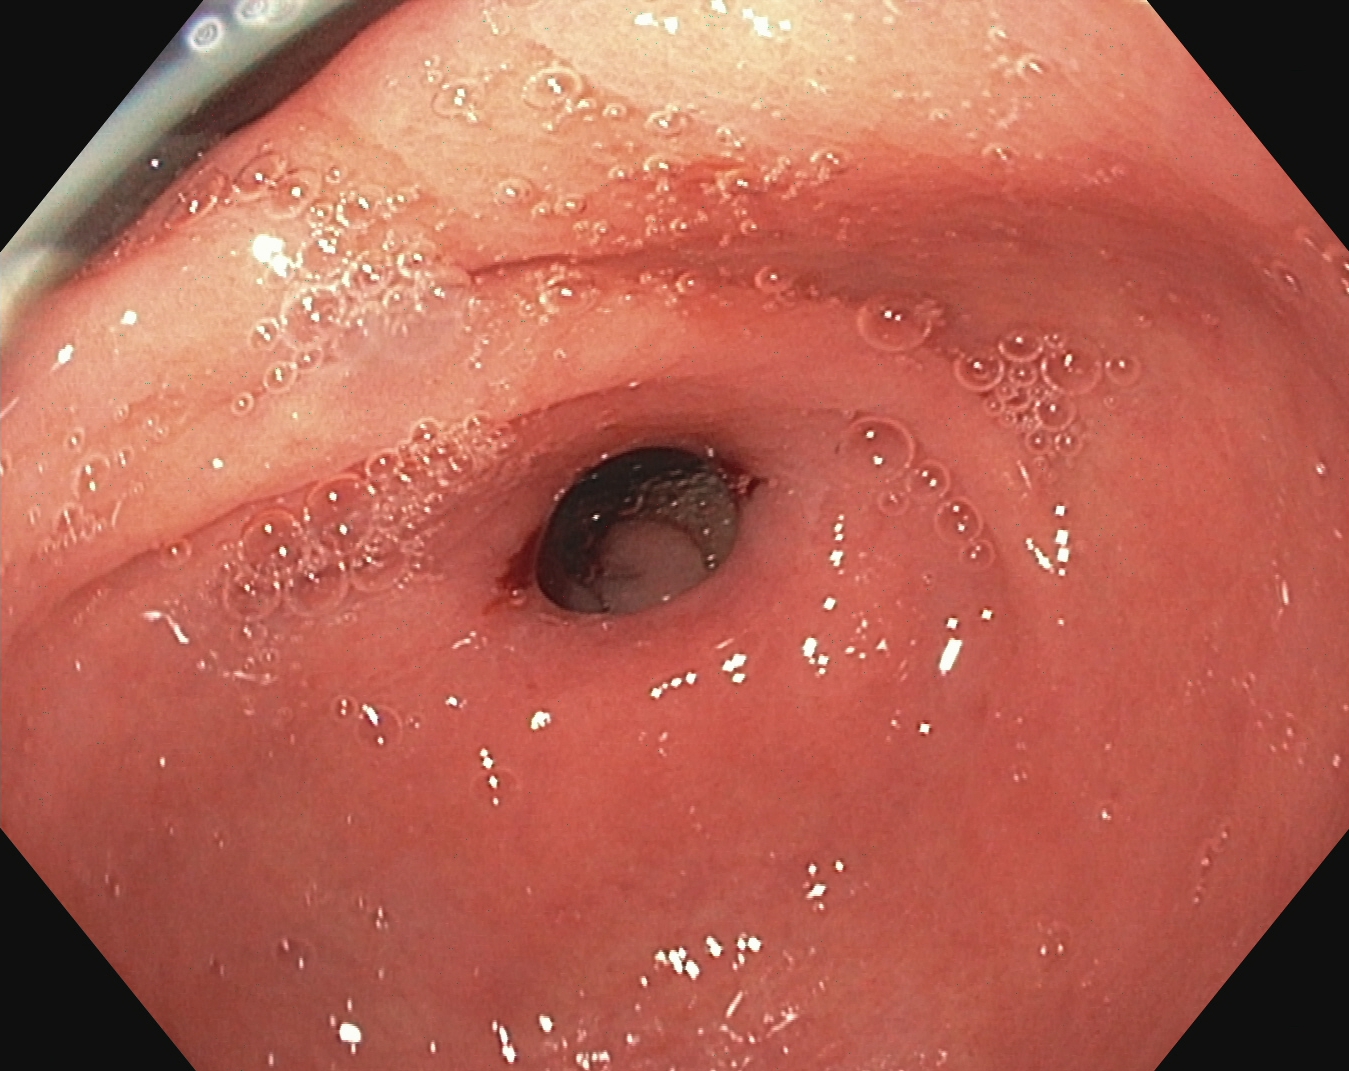modality: esophagogastroduodenoscopy; tract: upper GI tract; finding: pylorus